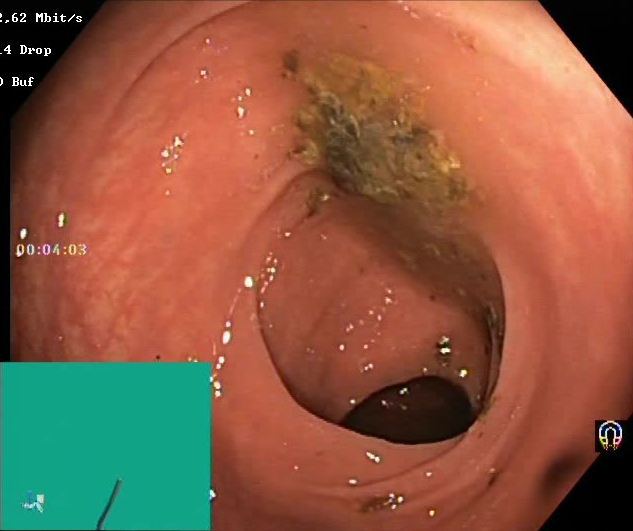modality: lower gastrointestinal endoscopy
tract: lower GI tract
category: mucosal-view quality
finding: BBPS score 0–1 (inadequate preparation)